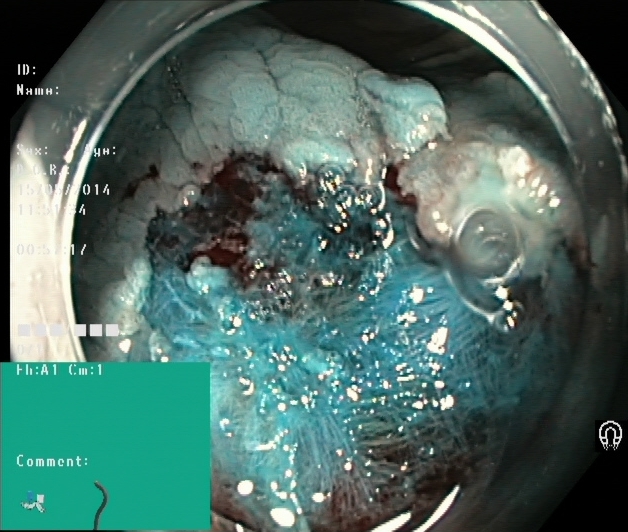modality: lower-GI endoscopy; finding: dyed resection margins (post-polypectomy)